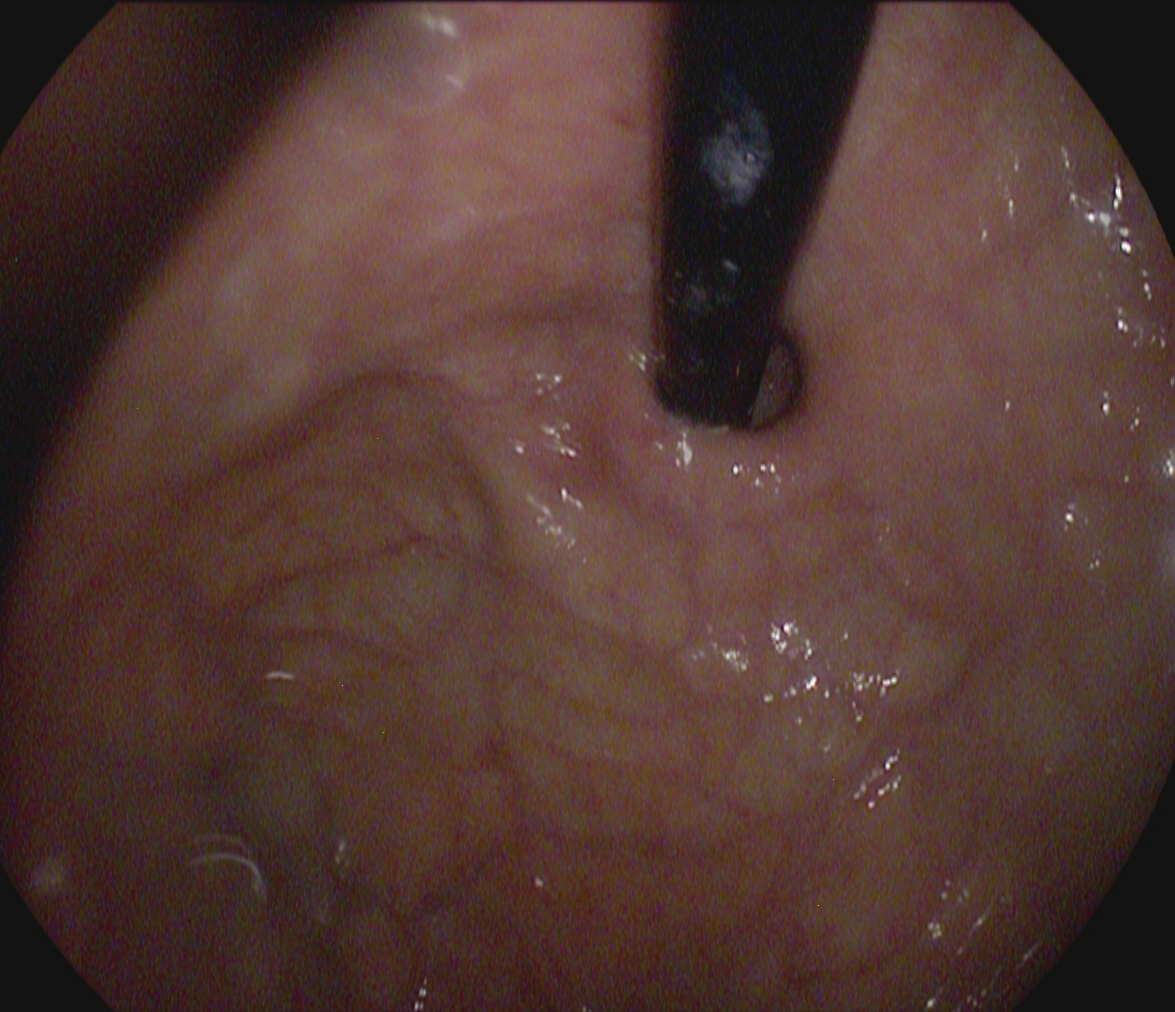Endoscopic frame of the upper GI tract showing stomach in retroflexion.